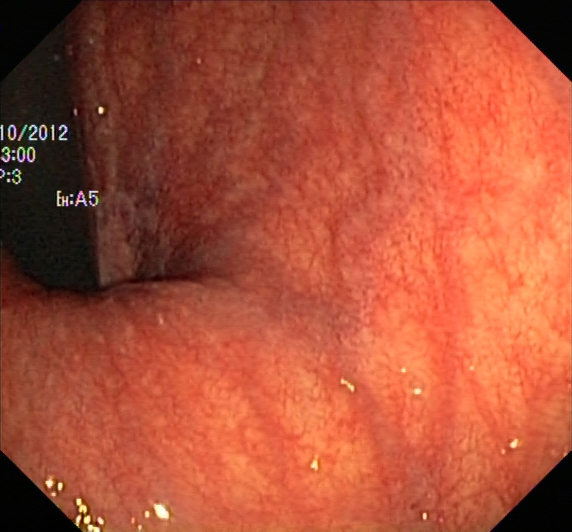UC, Mayo endoscopic subscore 0–1.